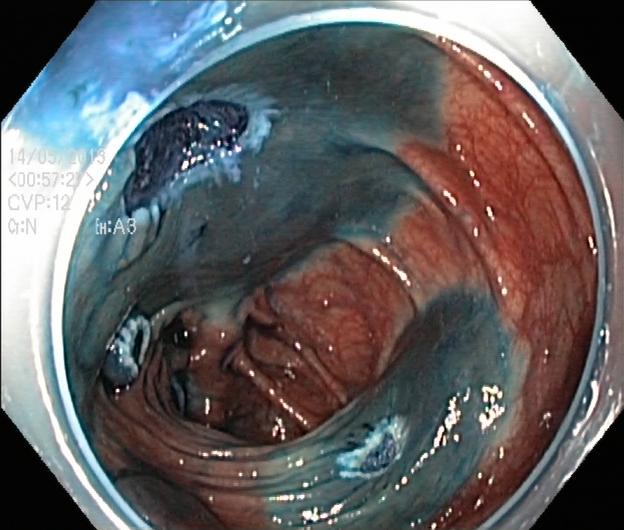Lower gastrointestinal endoscopy — dyed resection margins (post-polypectomy).